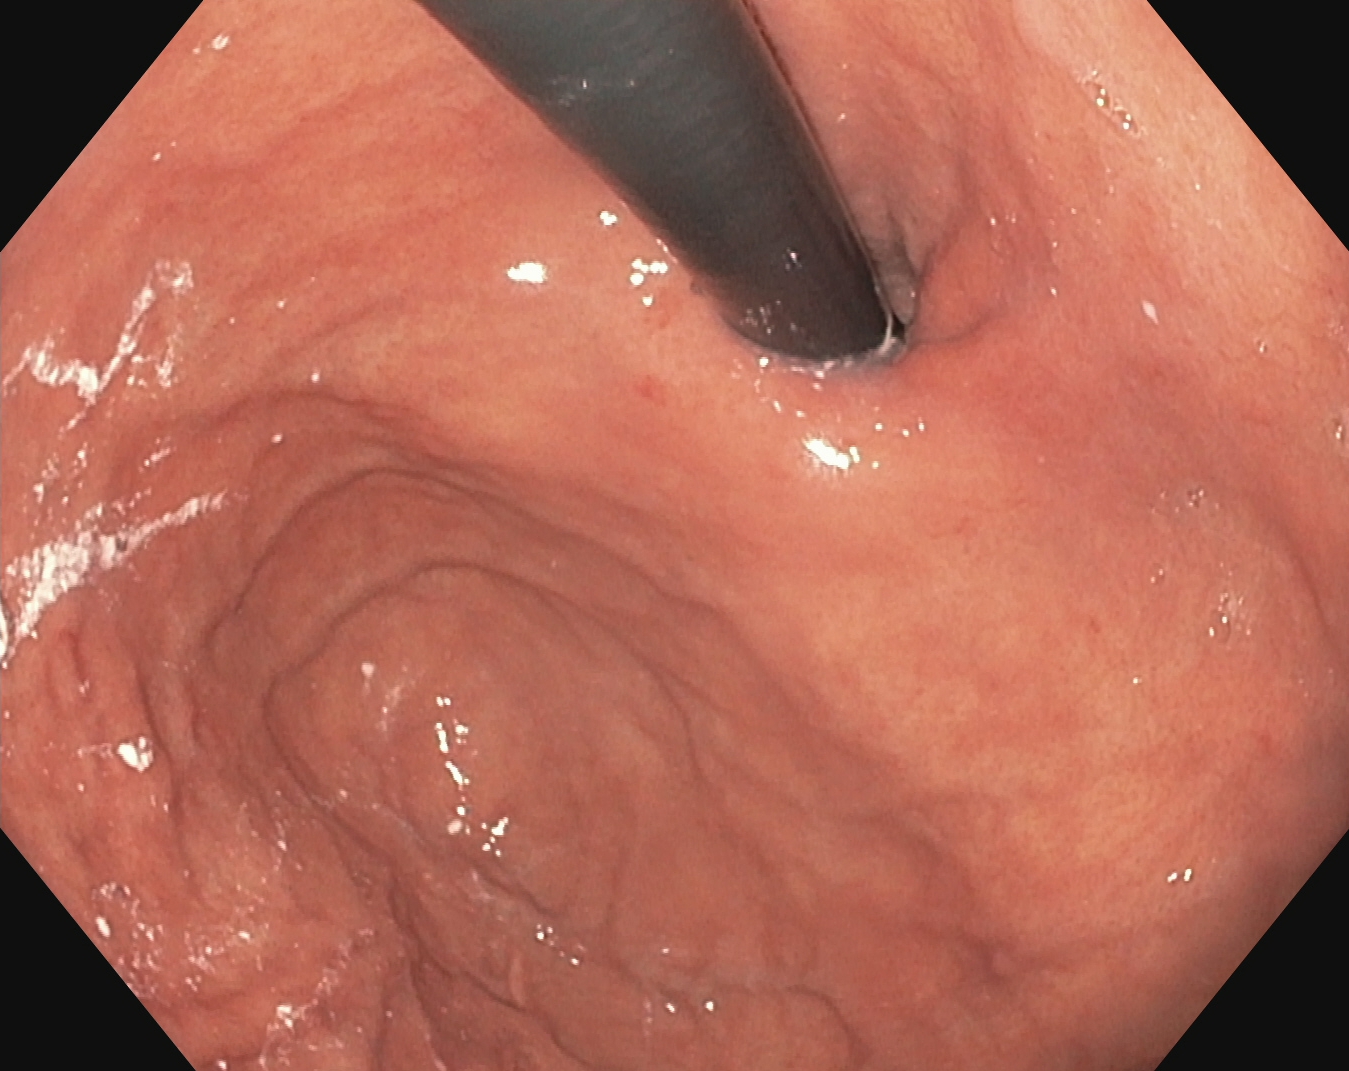EGD. Tract: upper GI tract. Anatomical landmark. Finding: stomach in retroflexion.